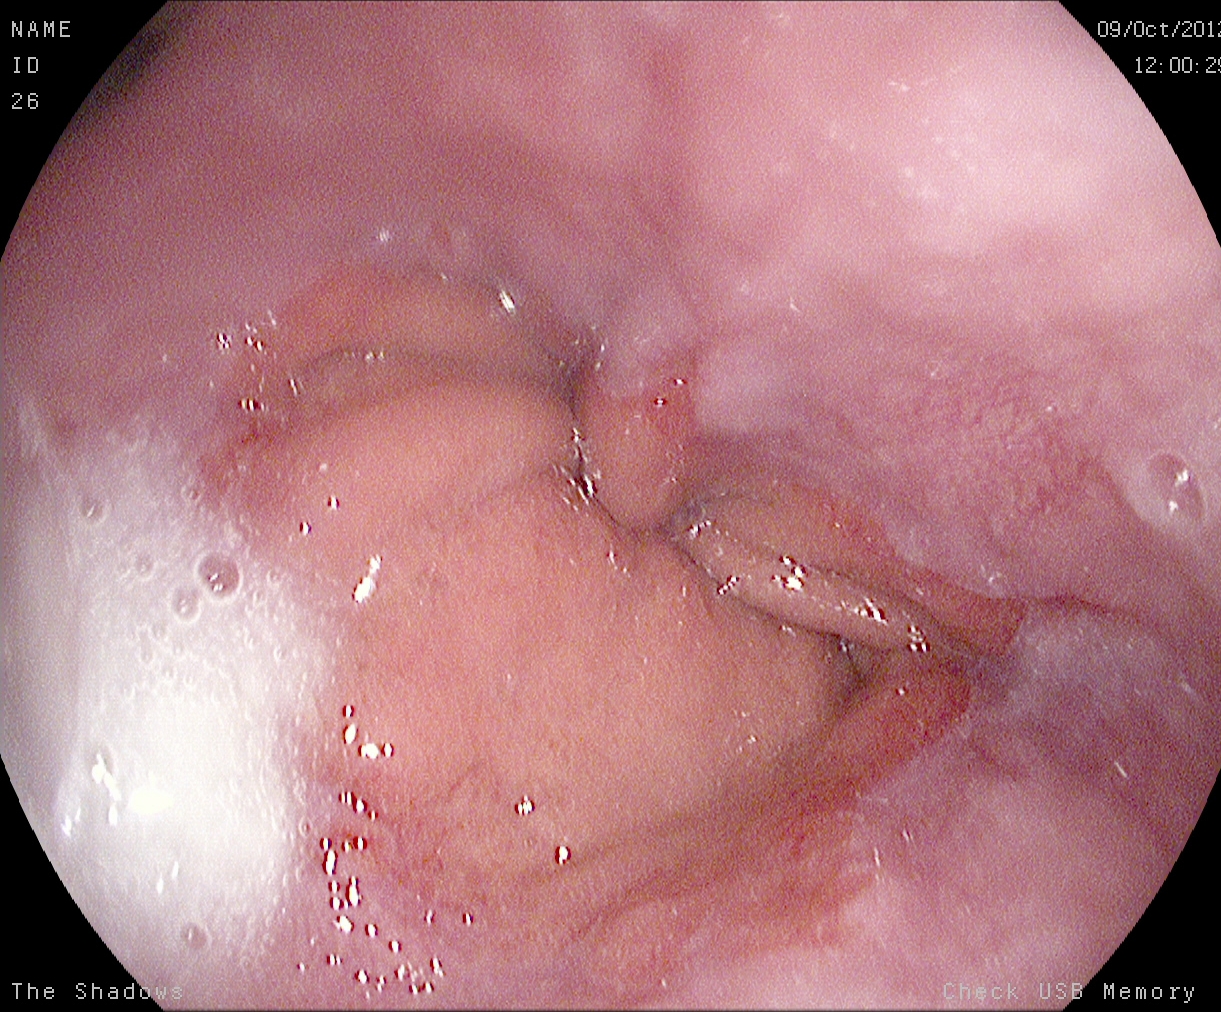modality: EGD; tract: upper GI tract; finding: reflux esophagitis, LA grade A